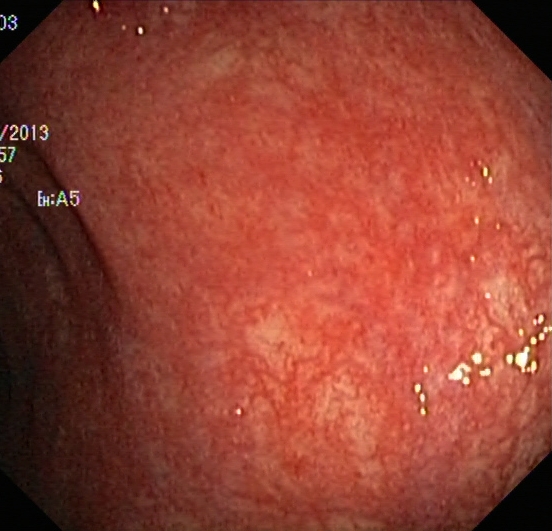{"modality": "lower gastrointestinal endoscopy", "tract": "lower GI tract", "finding": "ulcerative colitis, Mayo endoscopic subscore 1"}